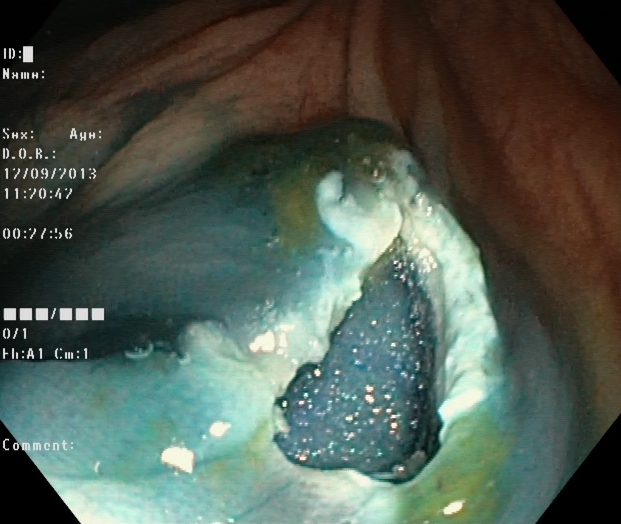This endoscopic image of the lower GI tract shows dyed resection margins (post-polypectomy).